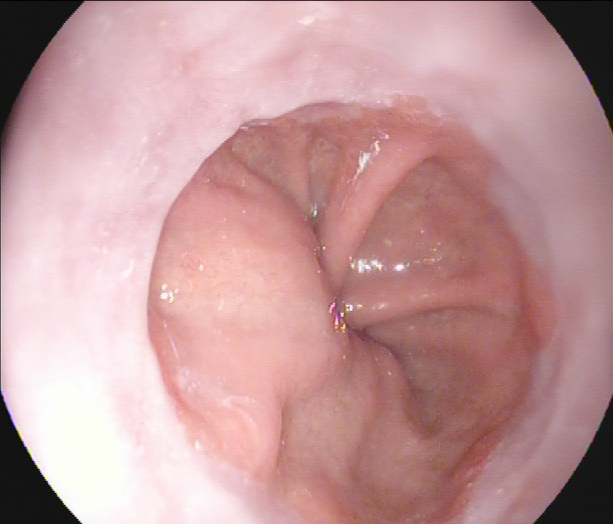Esophagogastroduodenoscopy. Tract: upper GI tract. Anatomical landmark. Finding: Z-line (gastroesophageal junction).